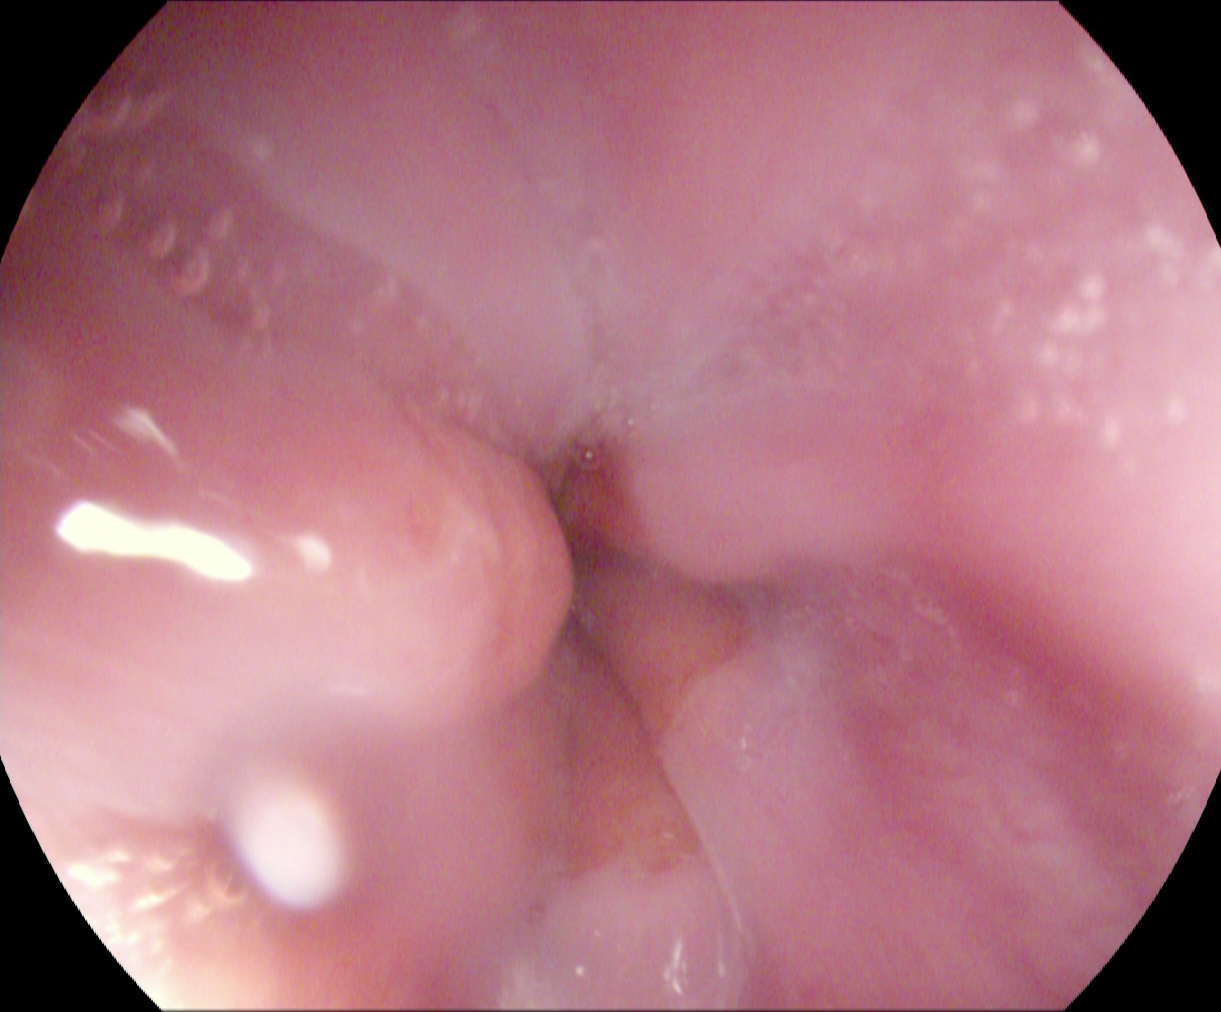modality: upper-GI endoscopy
tract: upper GI tract
finding: Z-line (gastroesophageal junction)